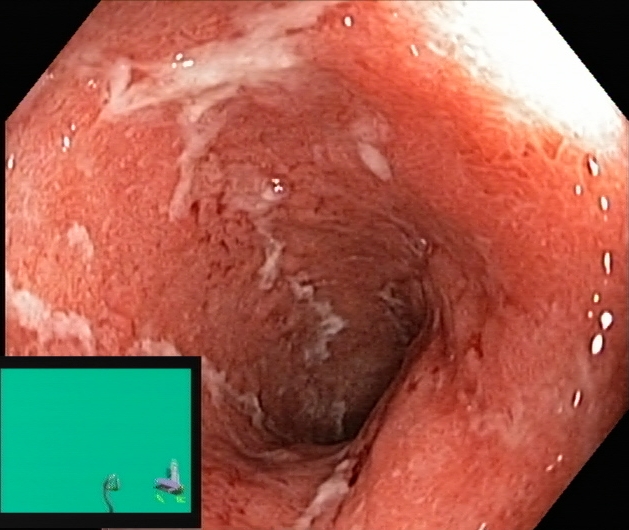Lower-GI endoscopy — ulcerative colitis, Mayo endoscopic subscore 2.